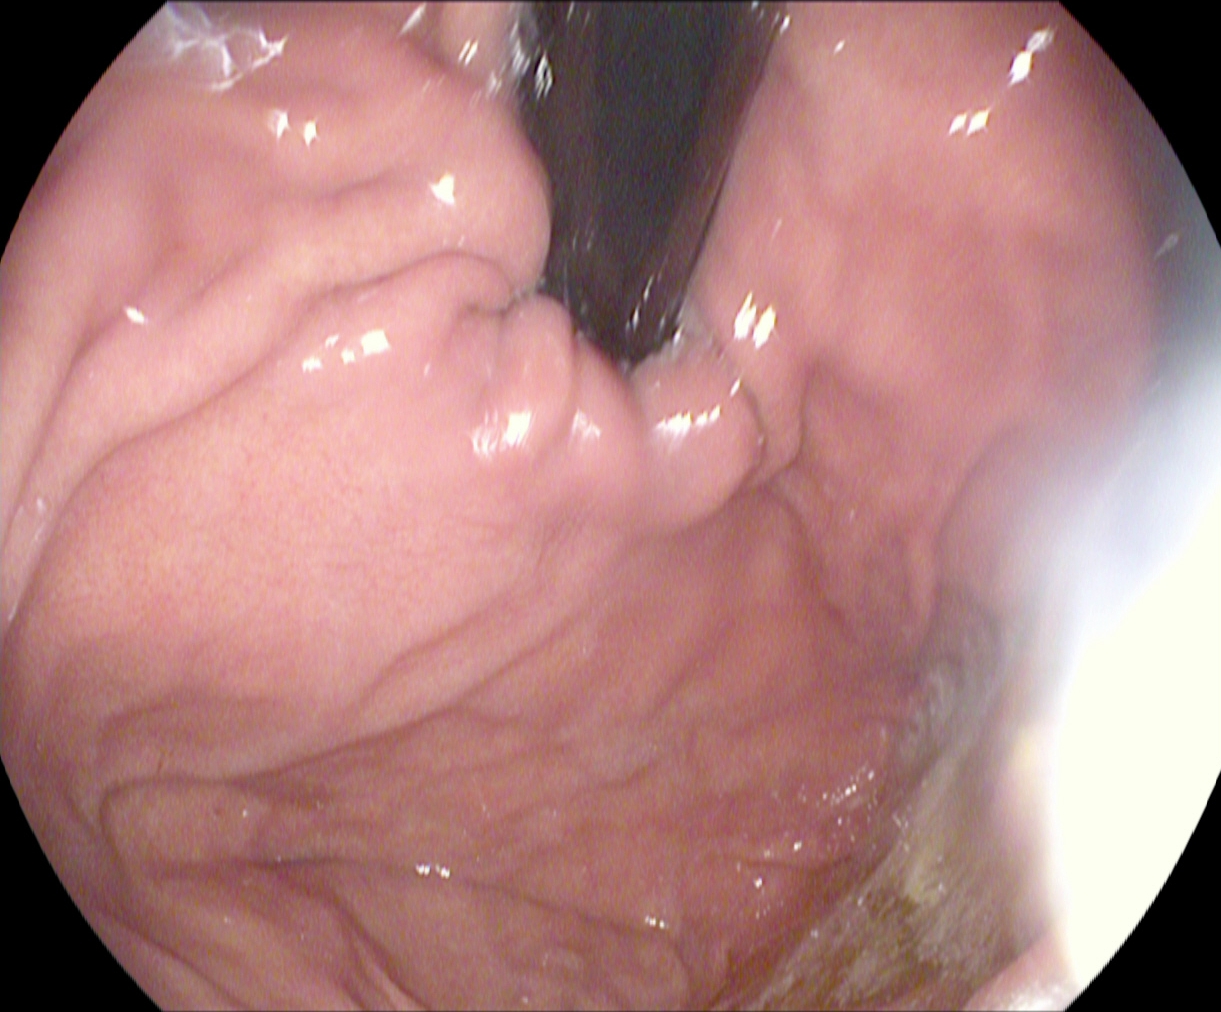Stomach in retroflexion.